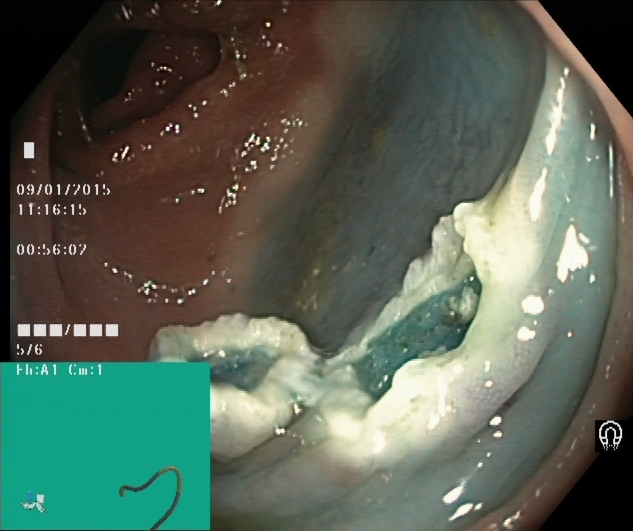{"modality": "lower gastrointestinal endoscopy", "tract": "lower GI tract", "category": "therapeutic intervention", "finding": "dyed resection margins (post-polypectomy)"}